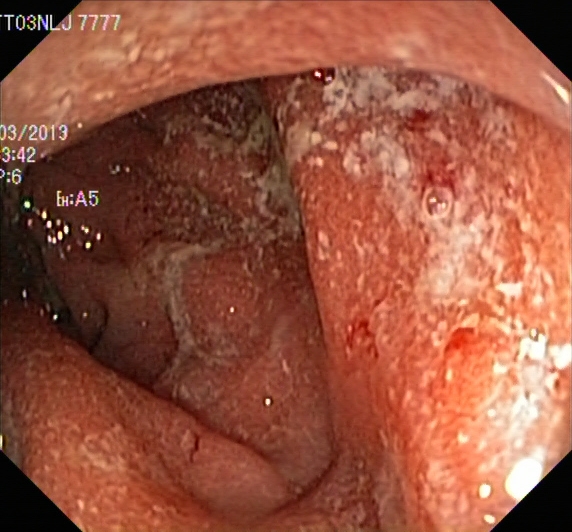ulcerative colitis, Mayo endoscopic subscore 2.